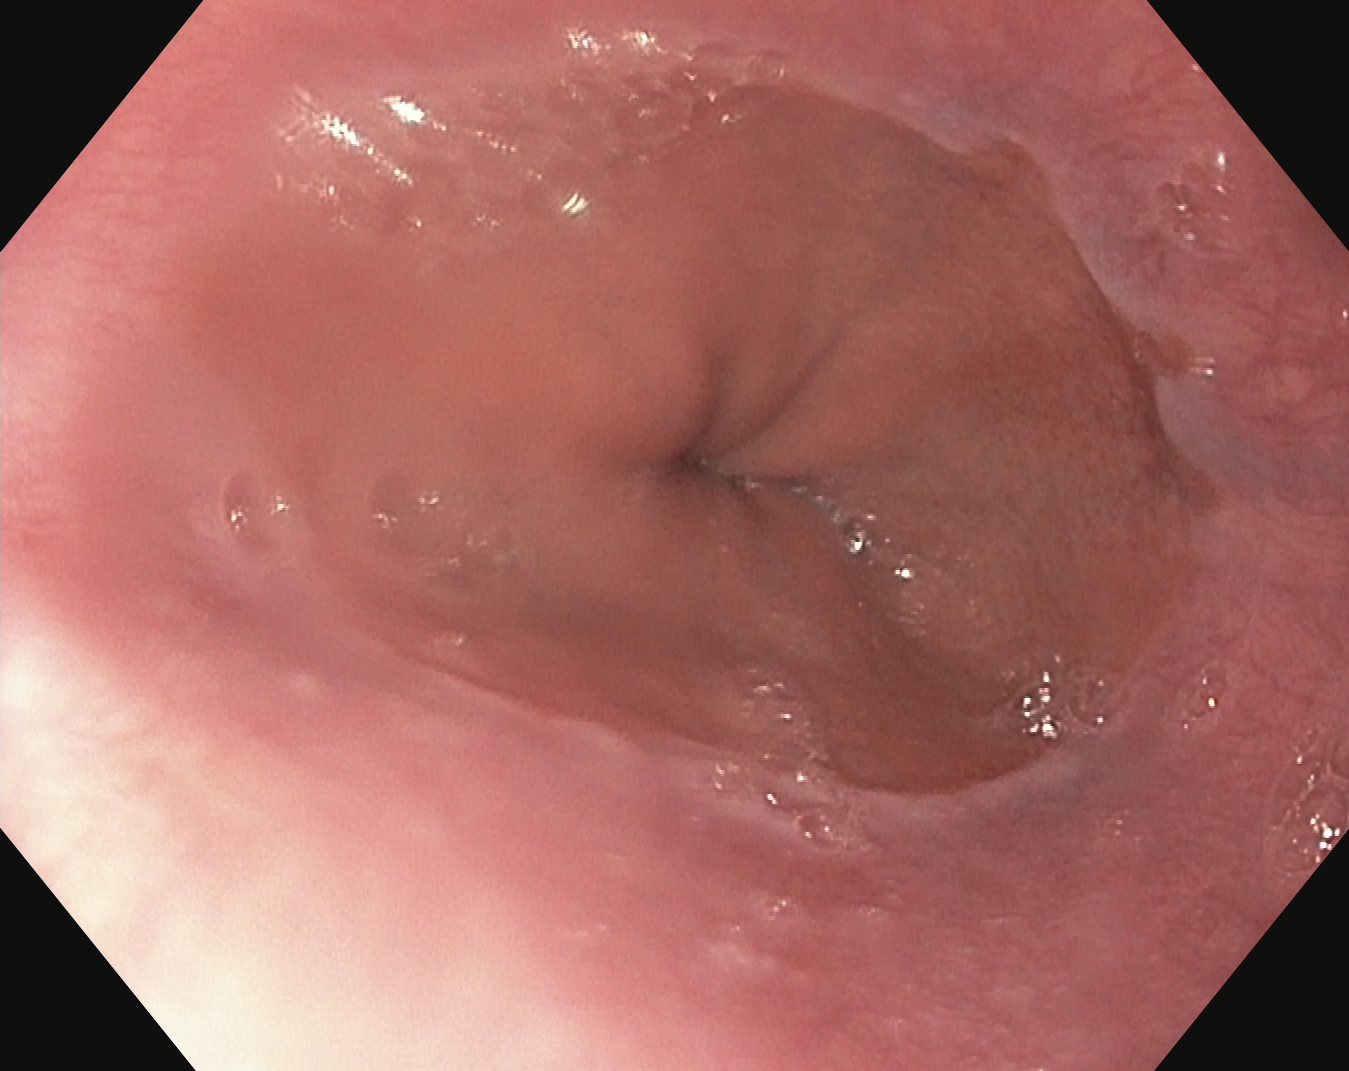PROCEDURE: Upper-GI endoscopy.
CATEGORY: Anatomical landmark.
FINDINGS: Z-line (gastroesophageal junction).